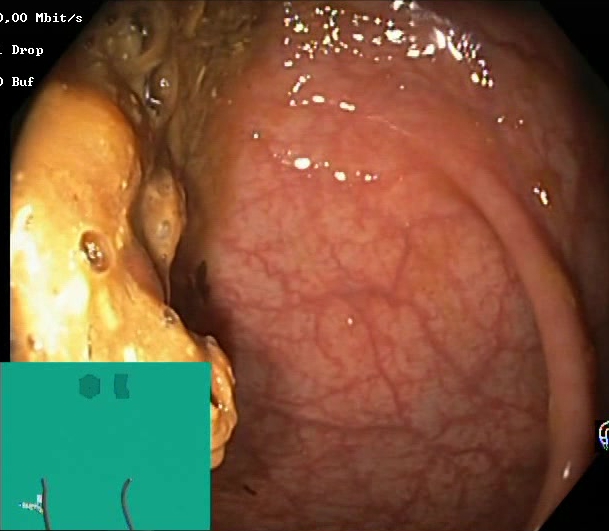Lower-GI endoscopy — Boston Bowel Preparation Scale score 0–1 (inadequate preparation).